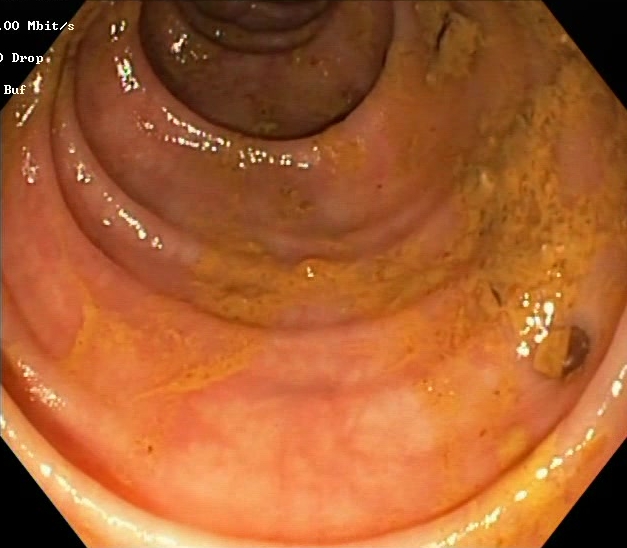Endoscopic frame of the lower GI tract showing BBPS score 0–1 (inadequate preparation).